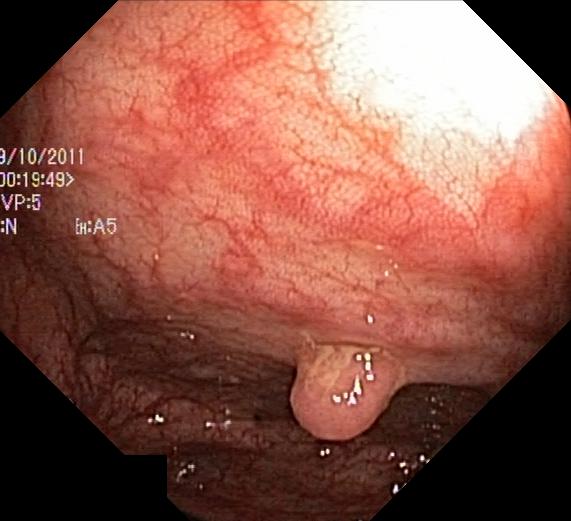PROCEDURE: Colonoscopy.
CATEGORY: Pathological finding.
FINDINGS: Colorectal polyp(s).